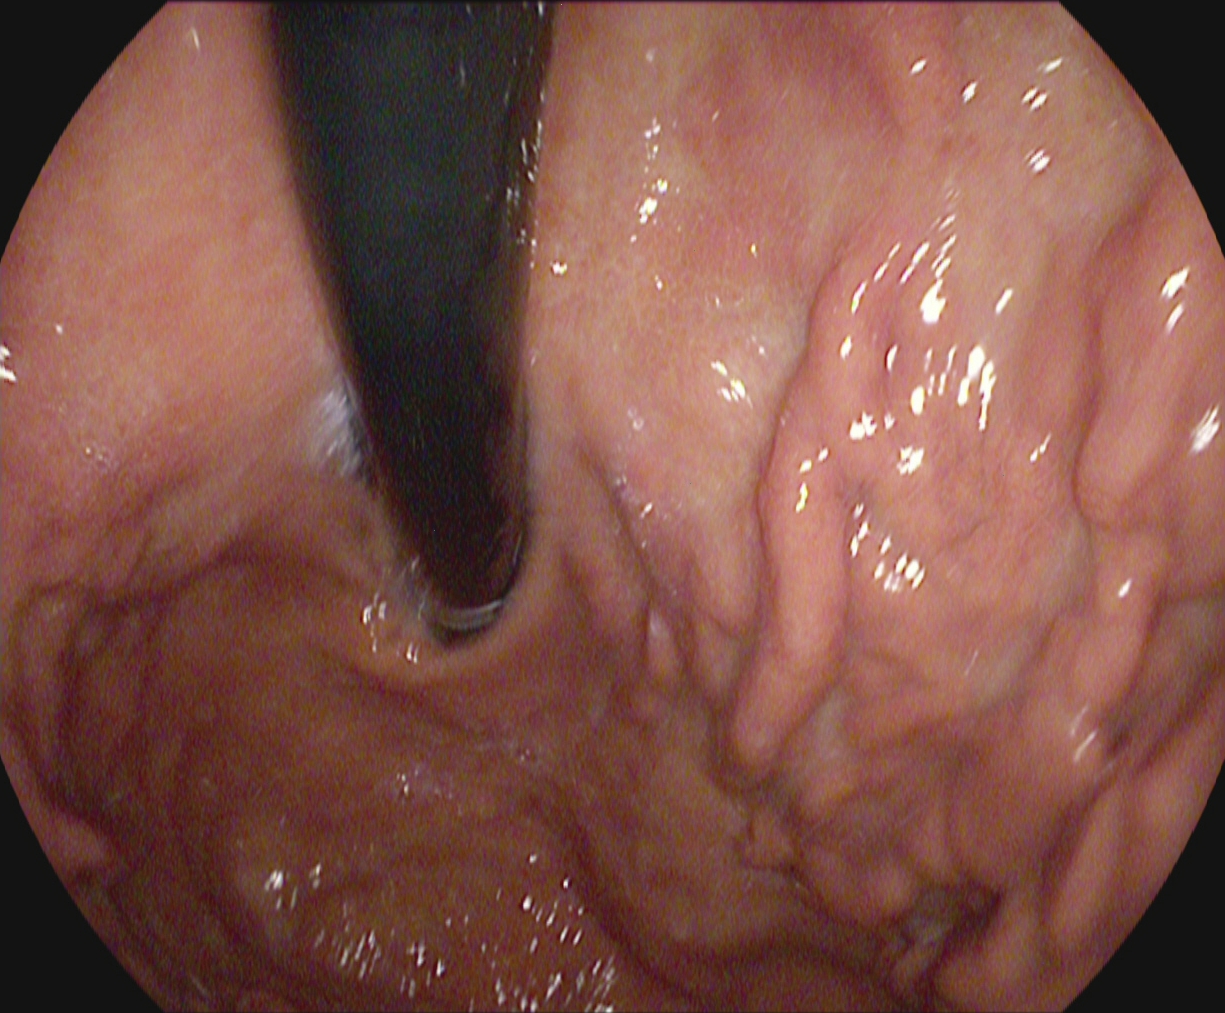This endoscopy frame of the upper GI tract shows stomach in retroflexion.